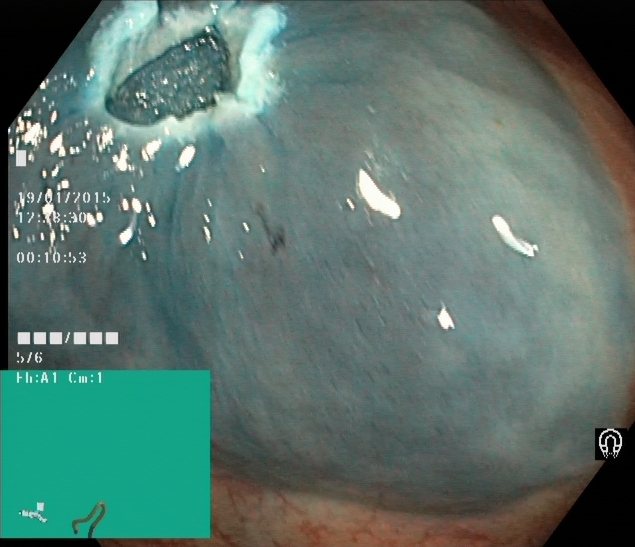dyed resection margins (post-polypectomy).